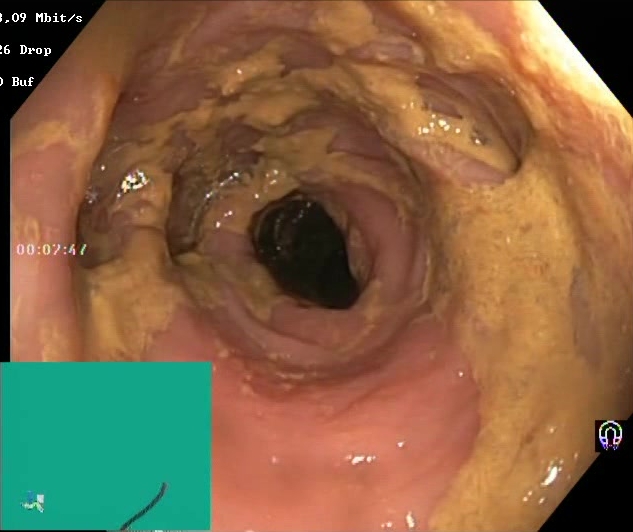modality: lower gastrointestinal endoscopy
finding: BBPS score 0–1 (inadequate preparation)